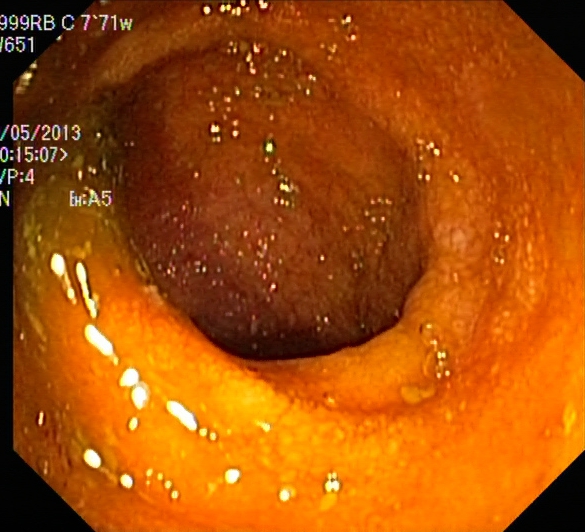This endoscopic image of the lower GI tract shows ulcerative colitis, Mayo endoscopic subscore 2.